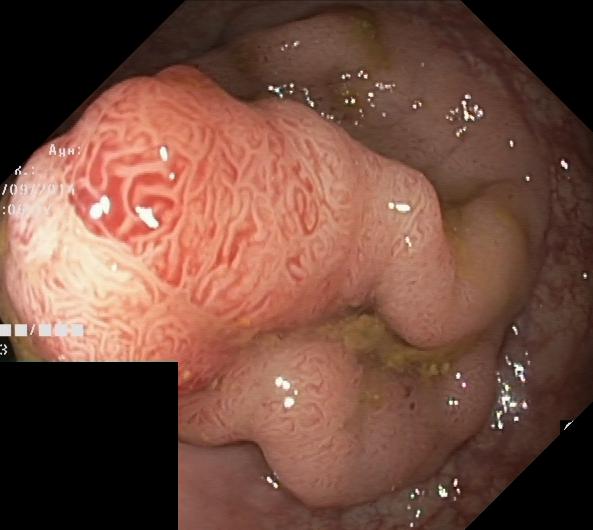Lower-GI endoscopy — colorectal polyp(s).